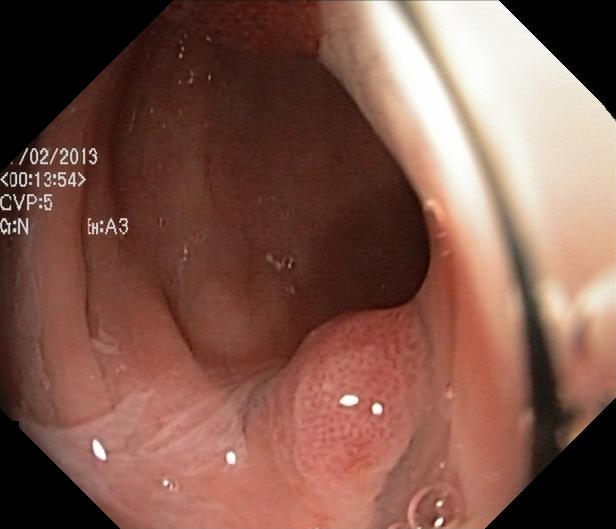{"modality": "lower gastrointestinal endoscopy", "finding": "colorectal polyp(s)"}